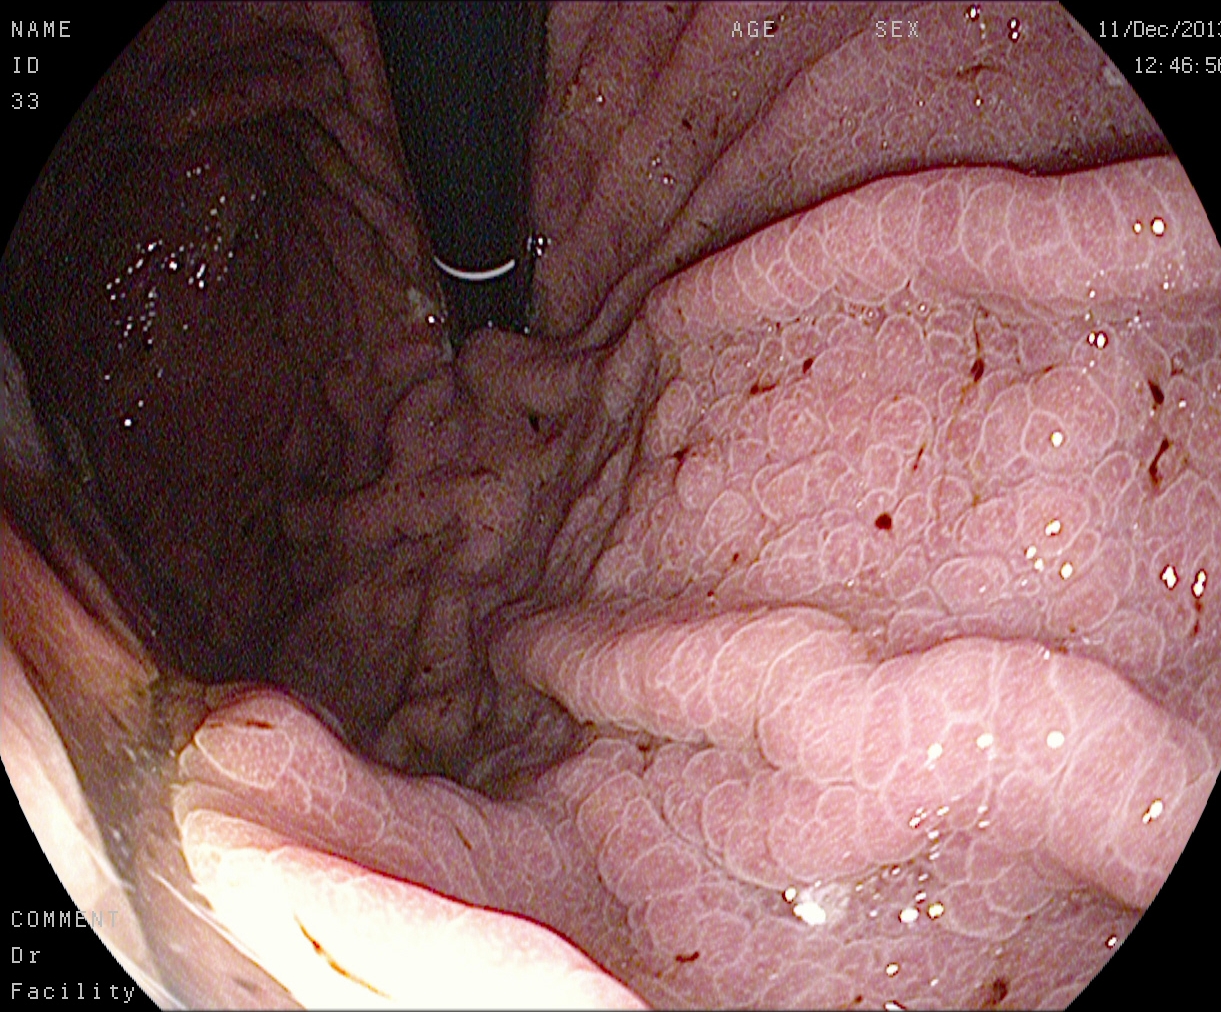Esophagogastroduodenoscopy image showing stomach in retroflexion.